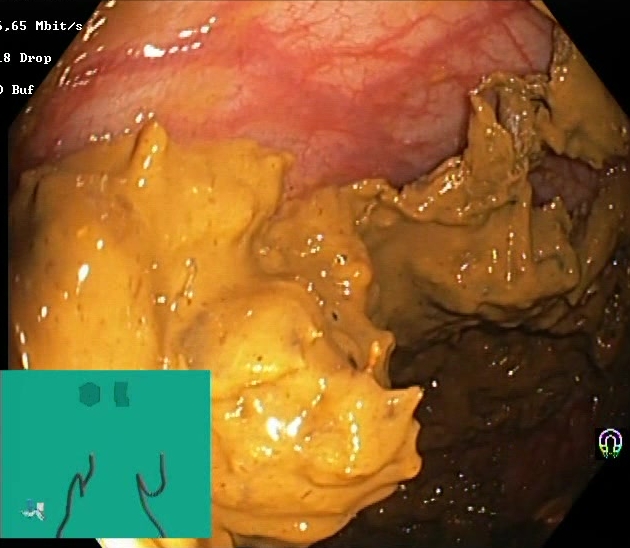Lower gastrointestinal endoscopy image of the lower GI tract showing Boston Bowel Preparation Scale score 0–1 (inadequate preparation).